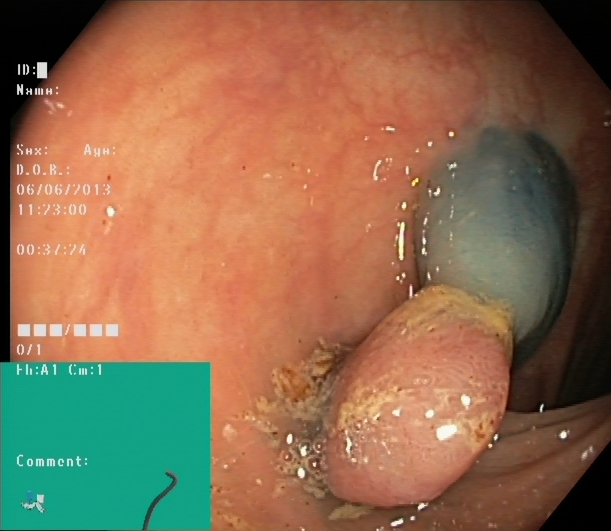modality: lower gastrointestinal endoscopy | finding: dyed and lifted polyp (pre-resection)